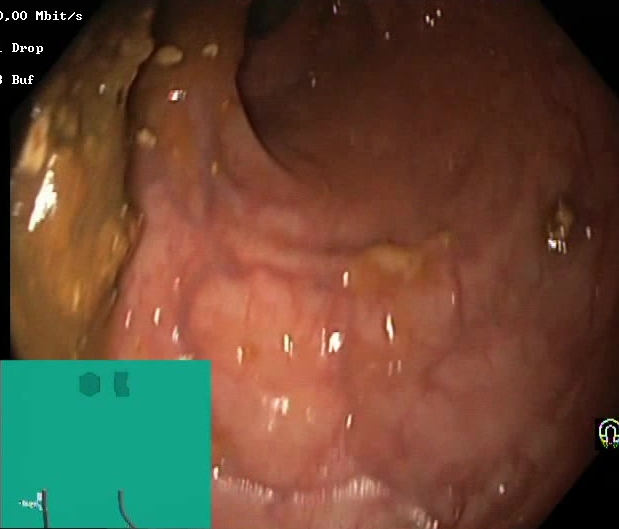Boston Bowel Preparation Scale score 0–1 (inadequate preparation).